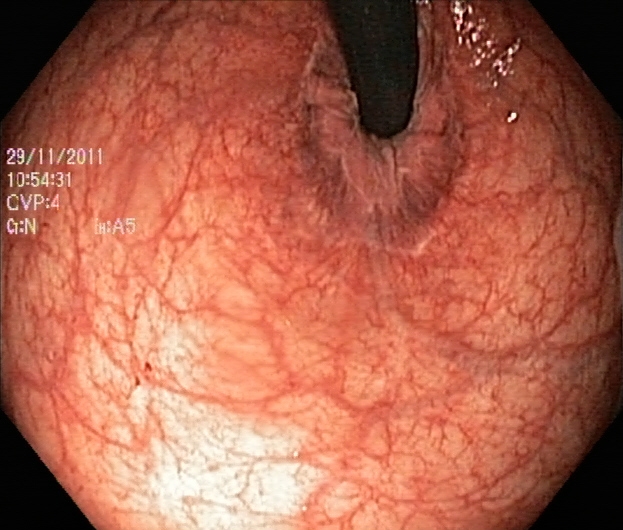Rectum in retroflexion.